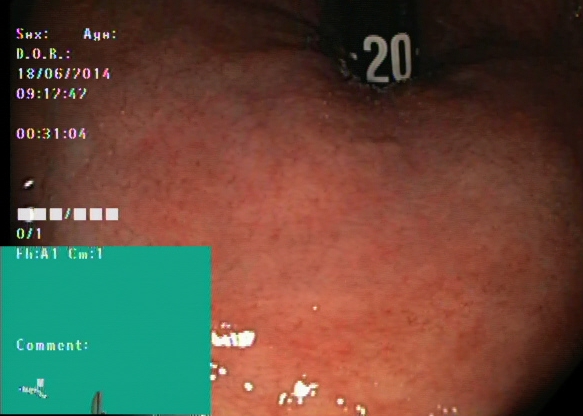Lower gastrointestinal endoscopy. Finding: rectum in retroflexion.